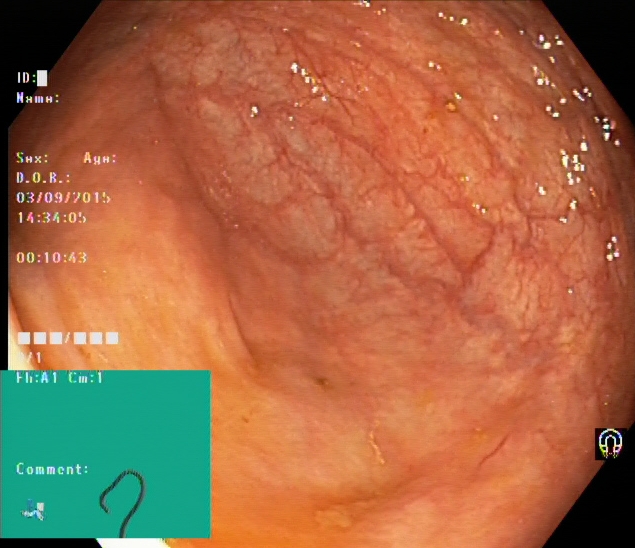modality: lower gastrointestinal endoscopy
tract: lower GI tract
category: anatomical landmark
finding: cecum